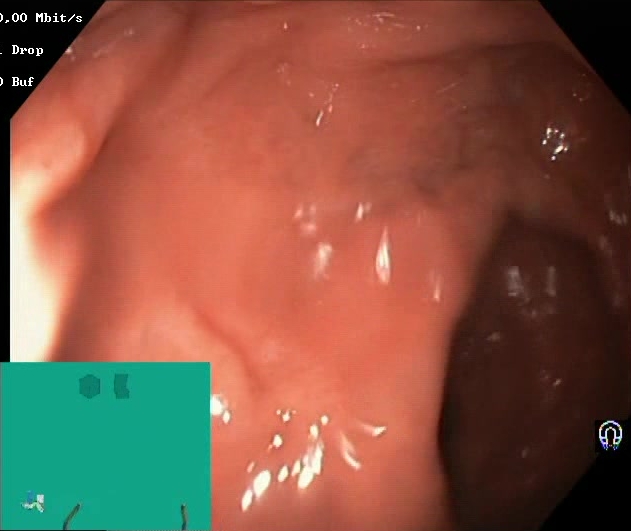Colonoscopy. Tract: lower GI tract. Finding: Boston Bowel Preparation Scale score 2–3 (adequate preparation).